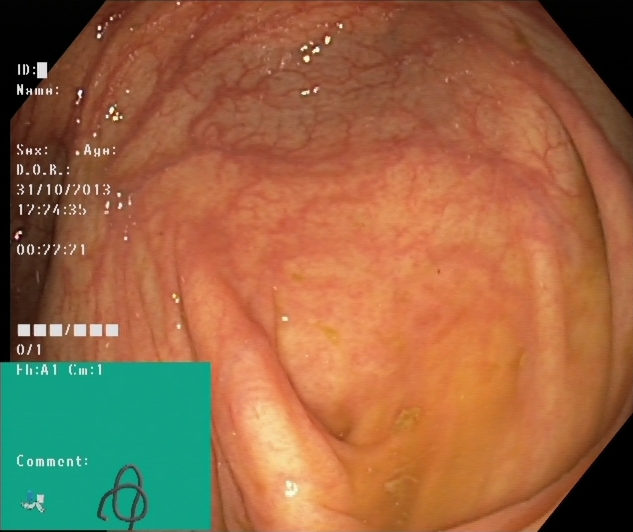PROCEDURE: Colonoscopy.
CATEGORY: Anatomical landmark.
FINDINGS: Cecum.